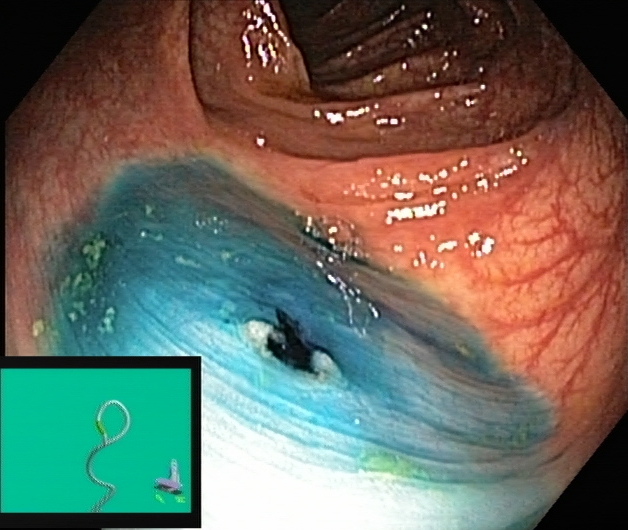Lower gastrointestinal endoscopy. Tract: lower GI tract. Finding: dyed resection margins (post-polypectomy).